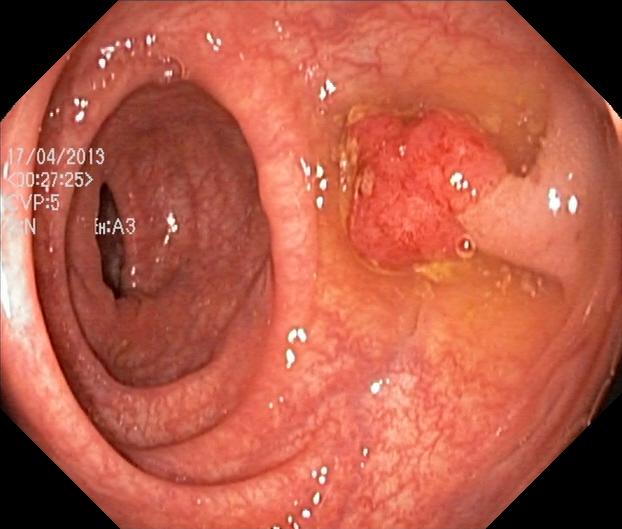PROCEDURE: Colonoscopy.
CATEGORY: Pathological finding.
FINDINGS: Colorectal polyp(s).